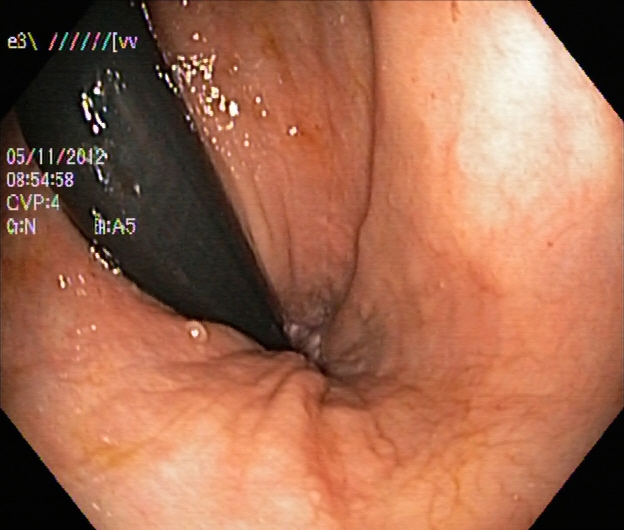Lower gastrointestinal endoscopy — rectum in retroflexion.